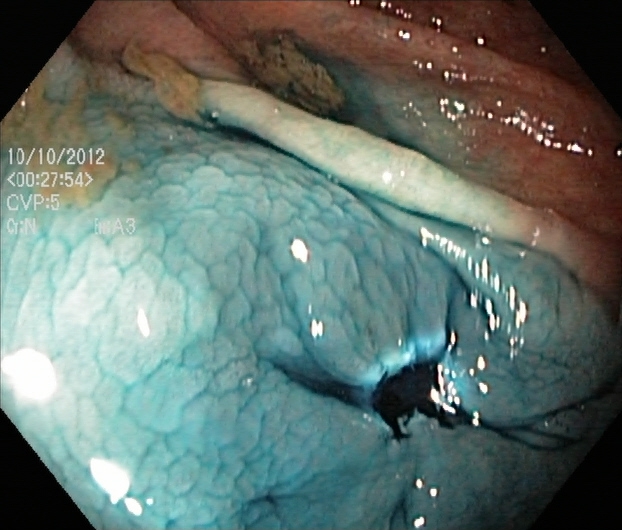Dyed resection margins (post-polypectomy).